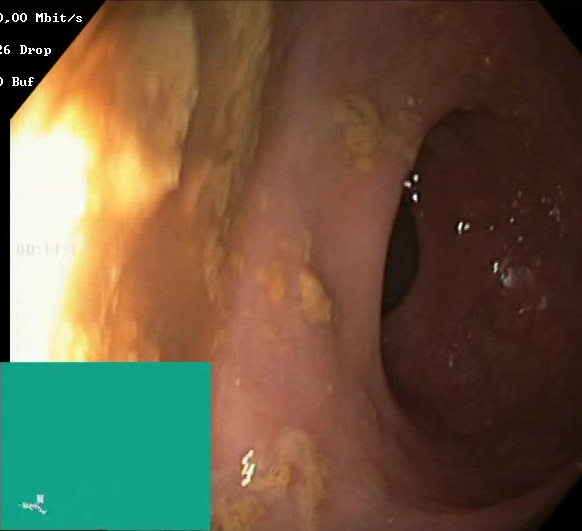modality: lower gastrointestinal endoscopy
tract: lower GI tract
finding: BBPS score 0–1 (inadequate preparation)